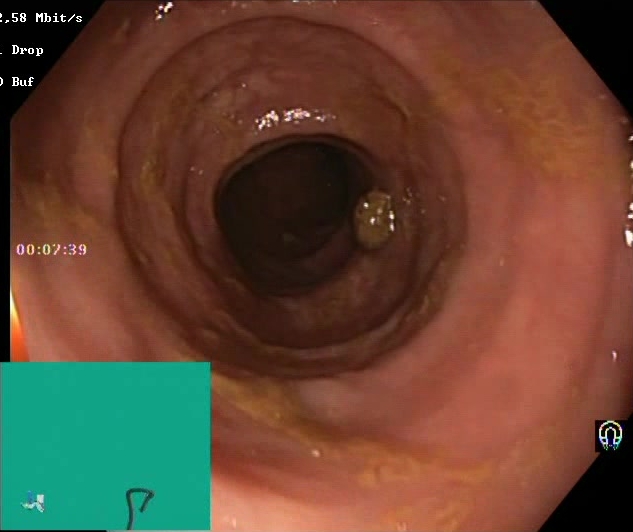Gastrointestinal endoscopy image showing Boston Bowel Preparation Scale score 2–3 (adequate preparation).